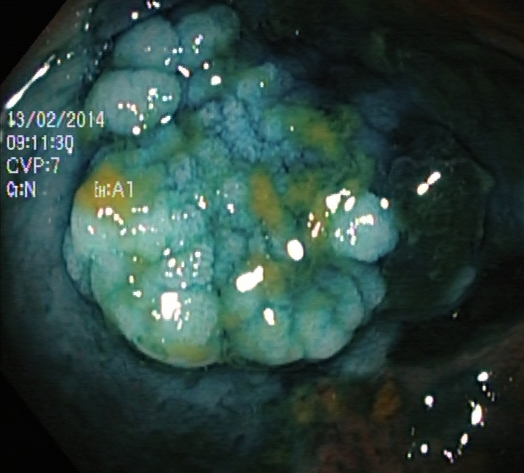Dyed and lifted polyp (pre-resection).